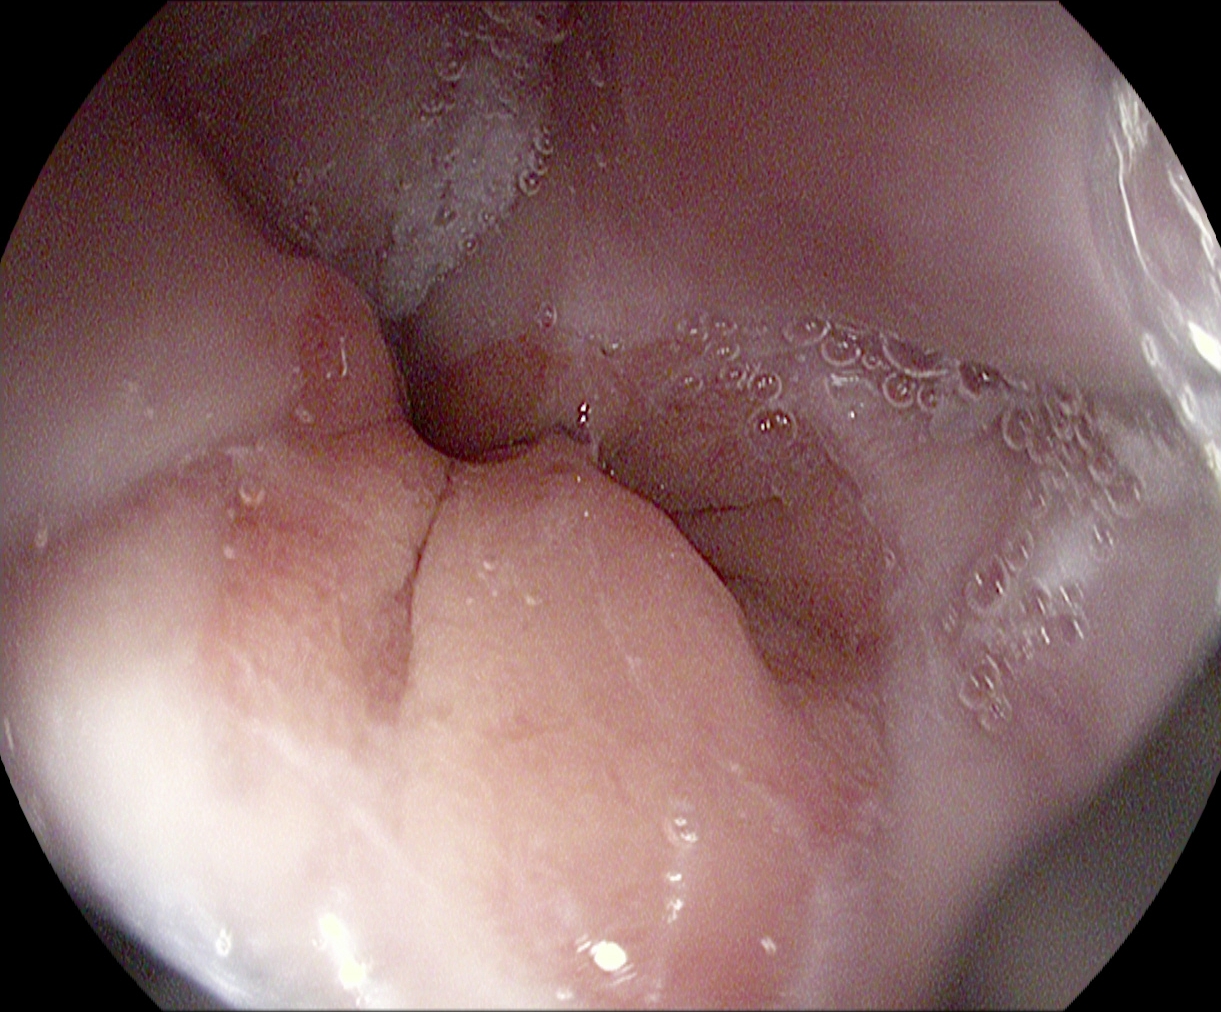This endoscopic image of the upper GI tract shows Z-line (gastroesophageal junction).